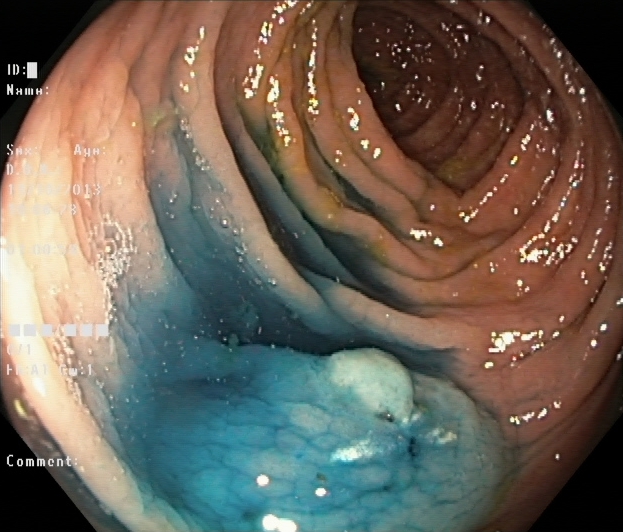Dyed and lifted polyp (pre-resection).